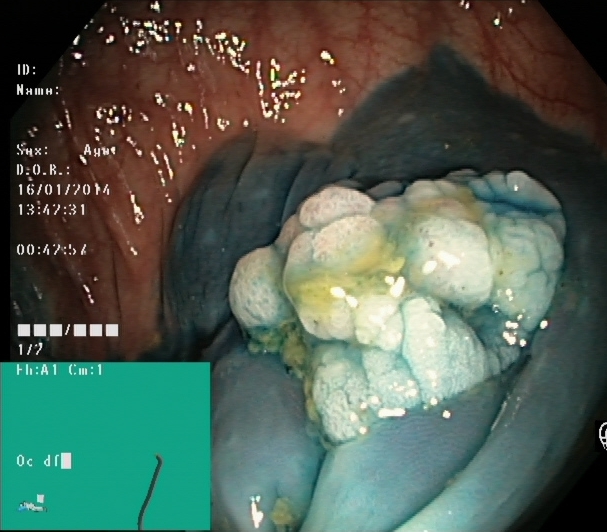Dyed and lifted polyp (pre-resection).